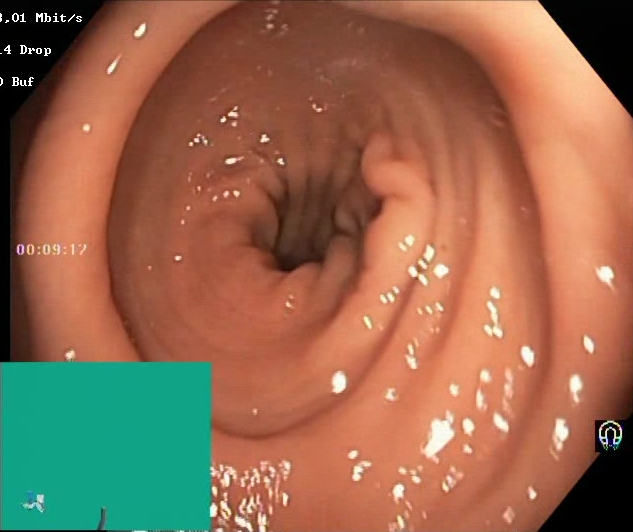Lower-GI endoscopy — Boston Bowel Preparation Scale score 2–3 (adequate preparation).